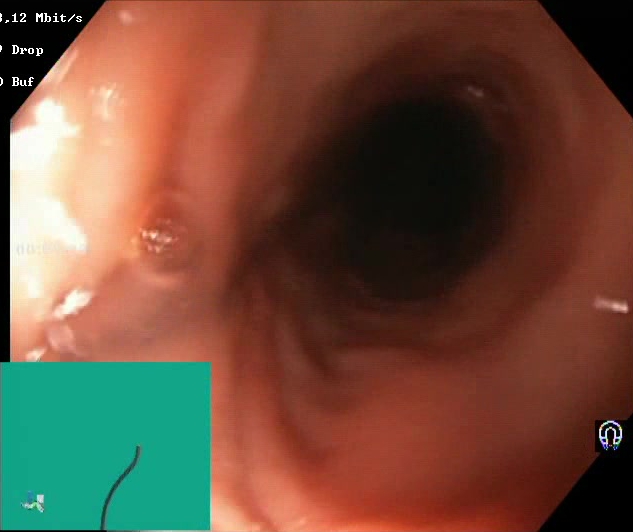GI endoscopy image of the lower GI tract showing Boston Bowel Preparation Scale score 2–3 (adequate preparation).